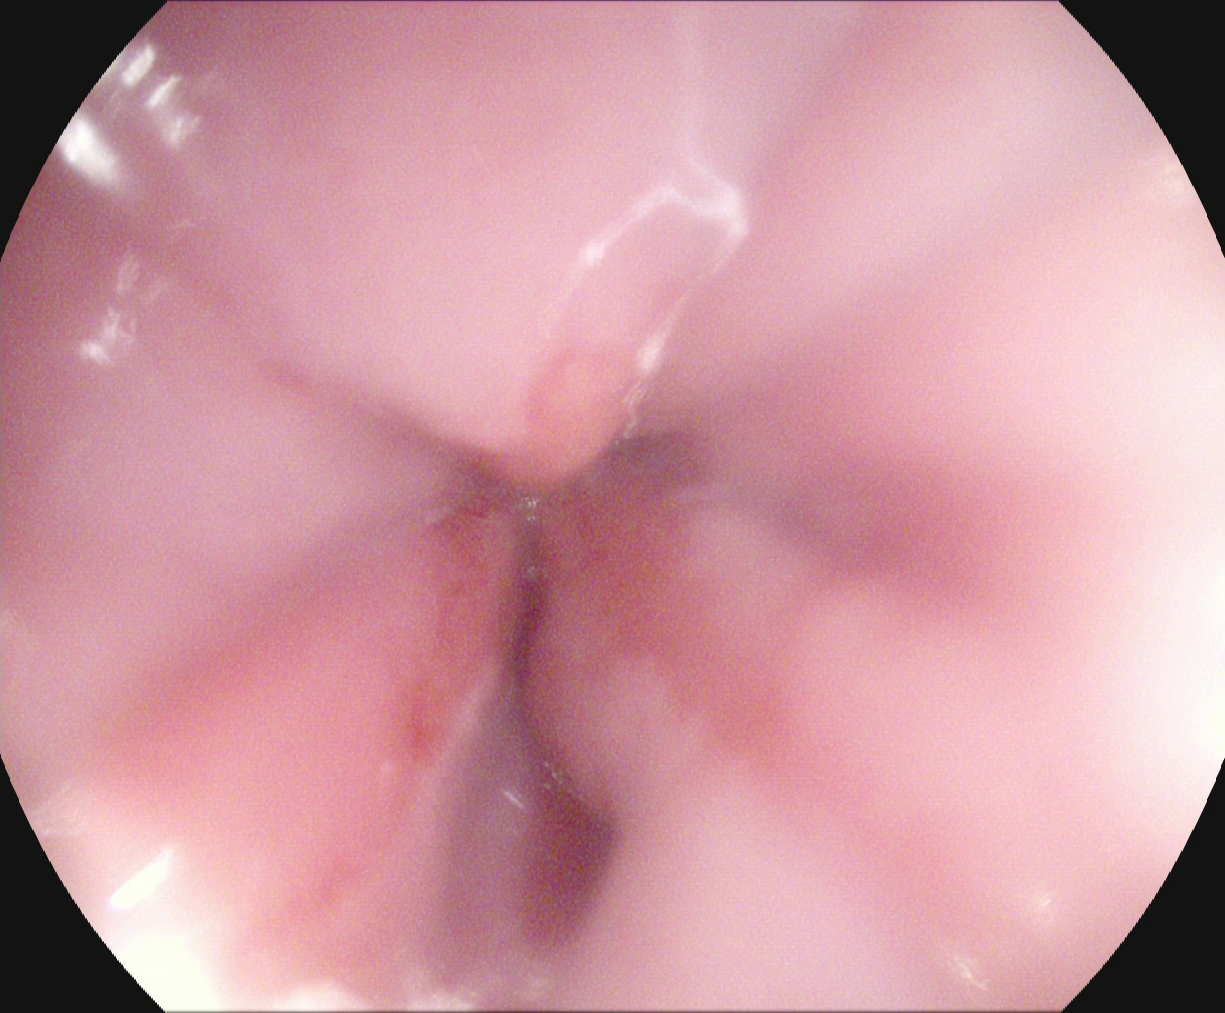This endoscopic image of the upper GI tract shows Z-line (gastroesophageal junction).